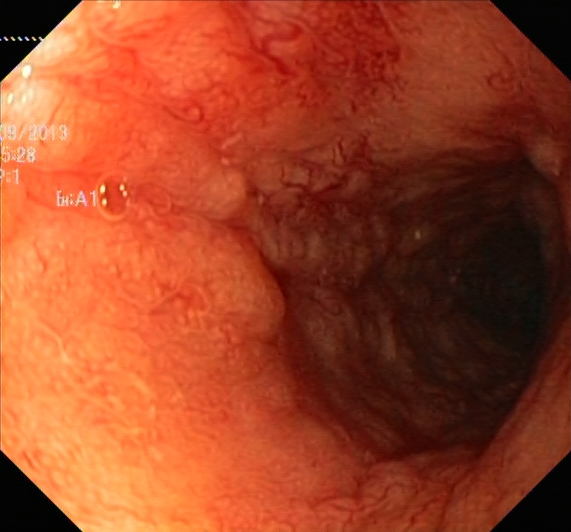Lower-GI endoscopy. Finding: ulcerative colitis, Mayo endoscopic subscore 2.